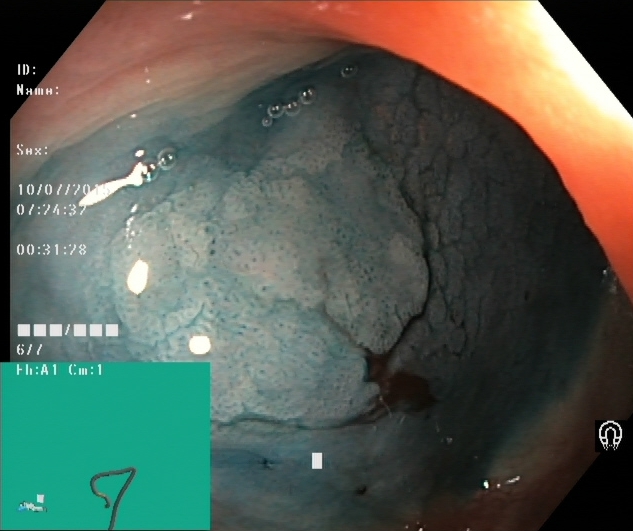Lower gastrointestinal endoscopy image showing dyed and lifted polyp (pre-resection).